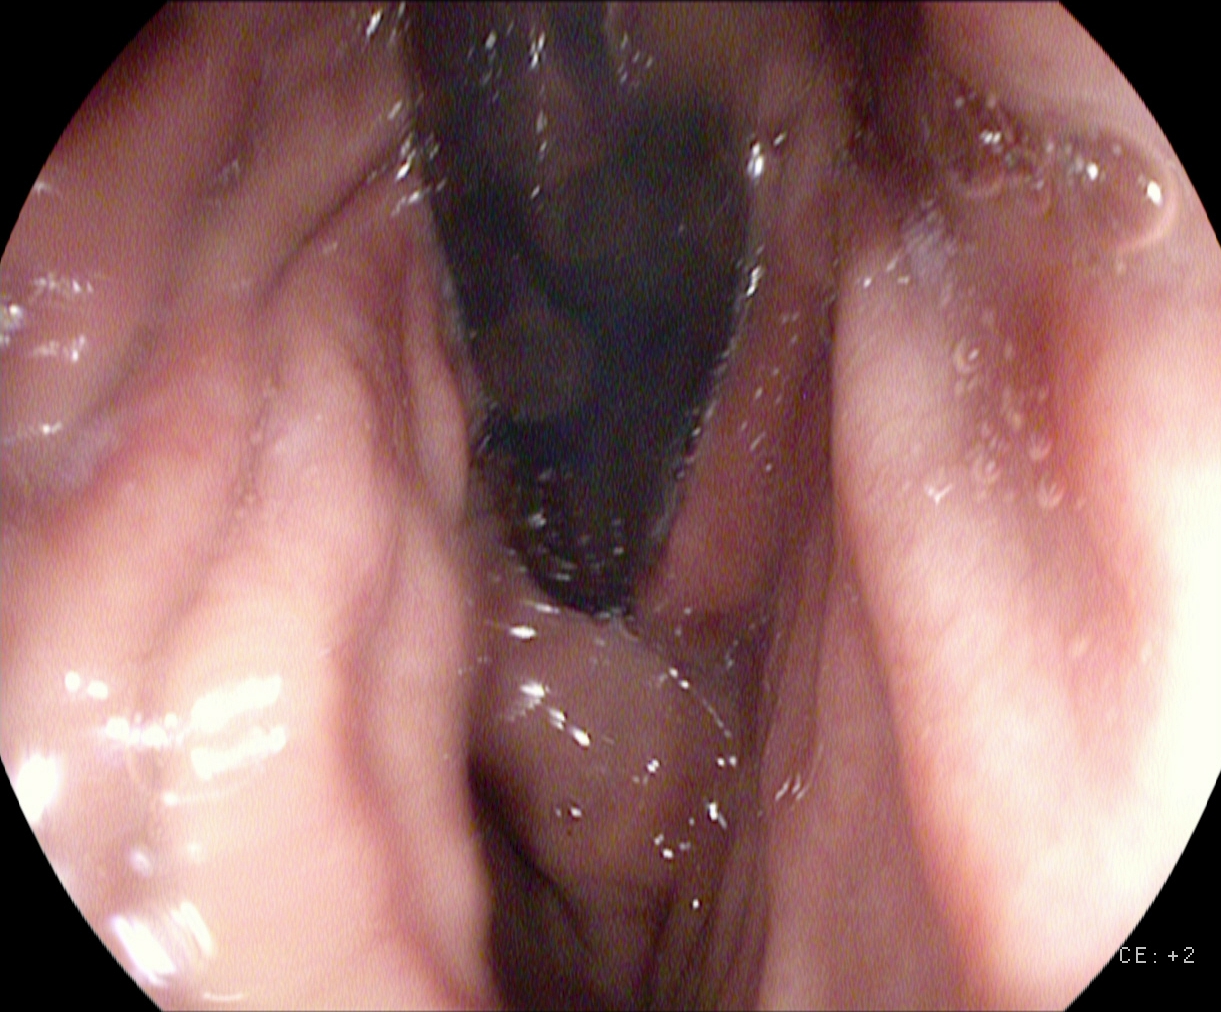Stomach in retroflexion.